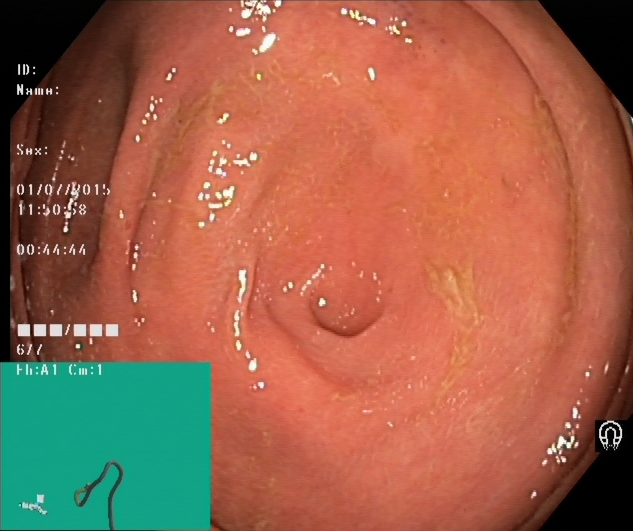Colonoscopy. Finding: cecum.